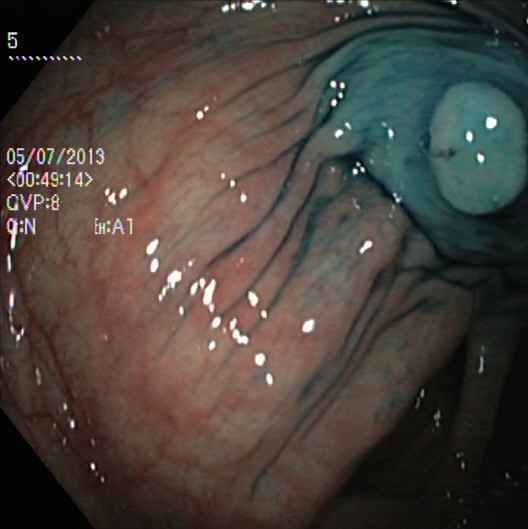PROCEDURE: Lower gastrointestinal endoscopy.
CATEGORY: Therapeutic intervention.
FINDINGS: Dyed and lifted polyp (pre-resection).